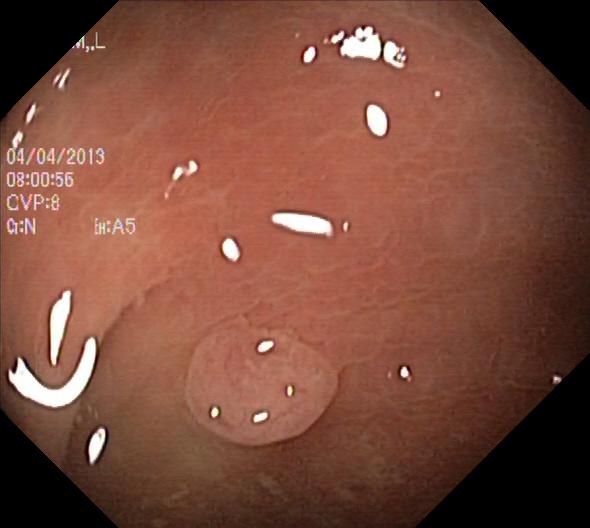modality: colonoscopy; tract: lower GI tract; finding: colorectal polyp(s)